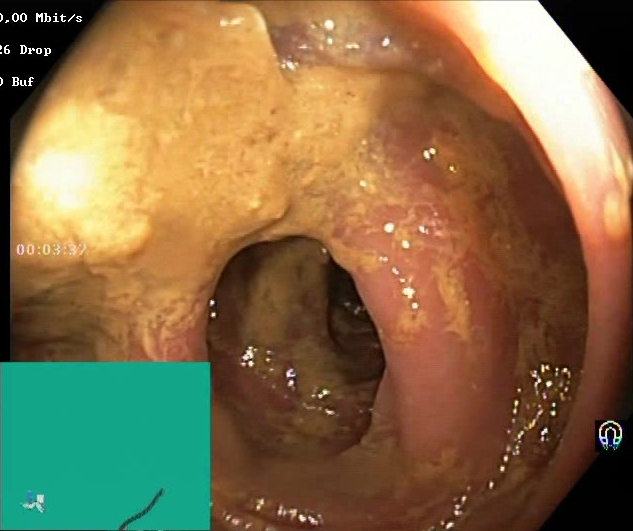This endoscopic image of the lower GI tract shows Boston Bowel Preparation Scale score 0–1 (inadequate preparation).